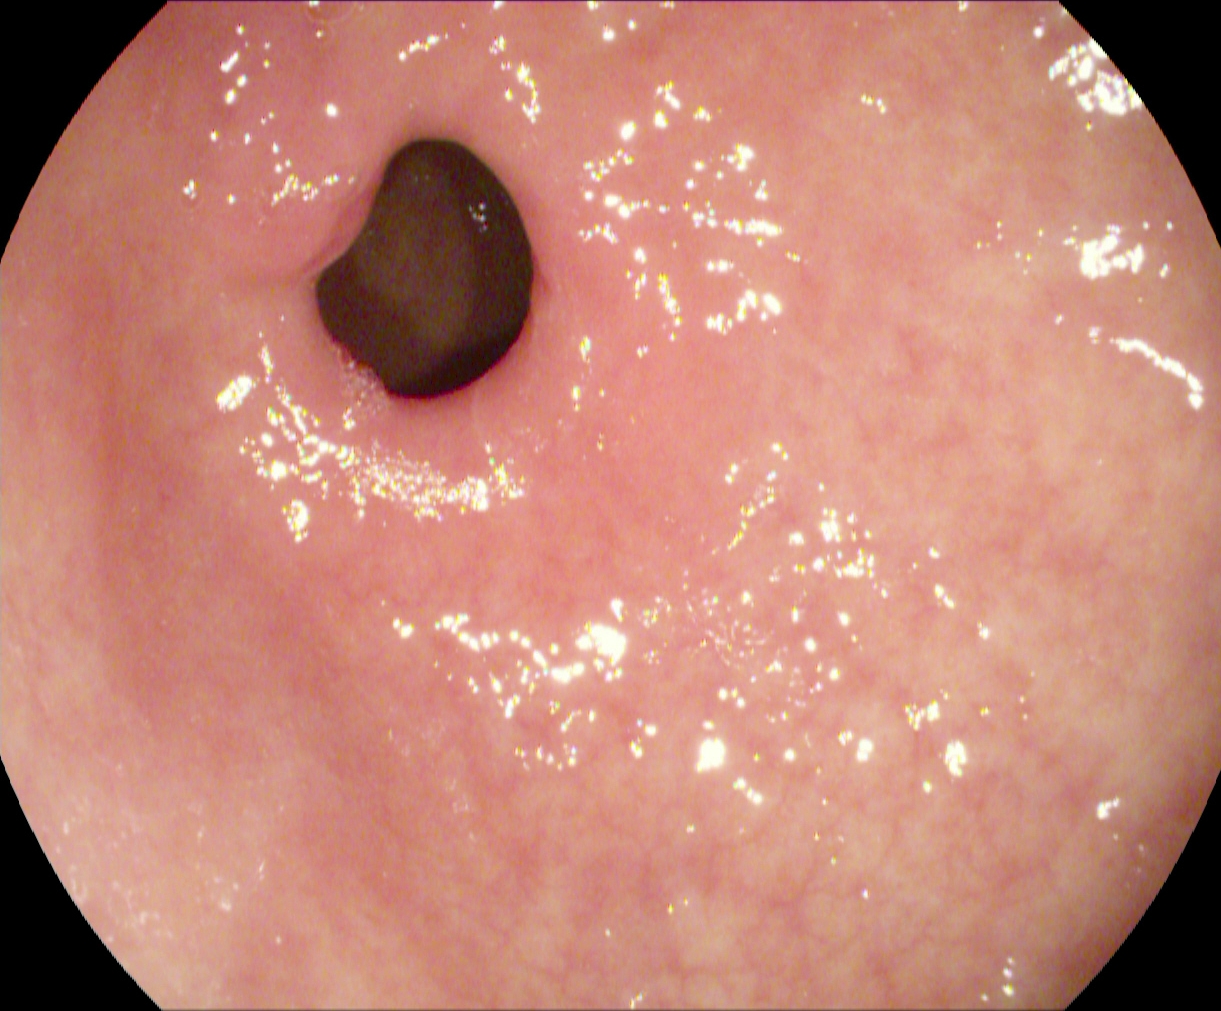Pylorus.